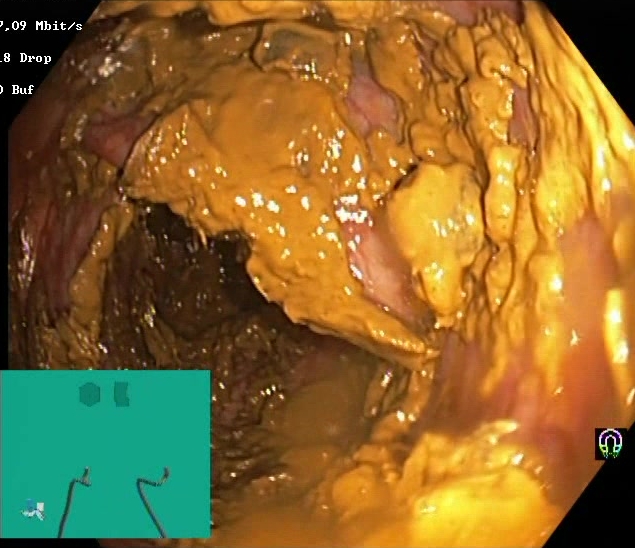PROCEDURE: Colonoscopy.
FINDINGS: Boston Bowel Preparation Scale score 0–1 (inadequate preparation).